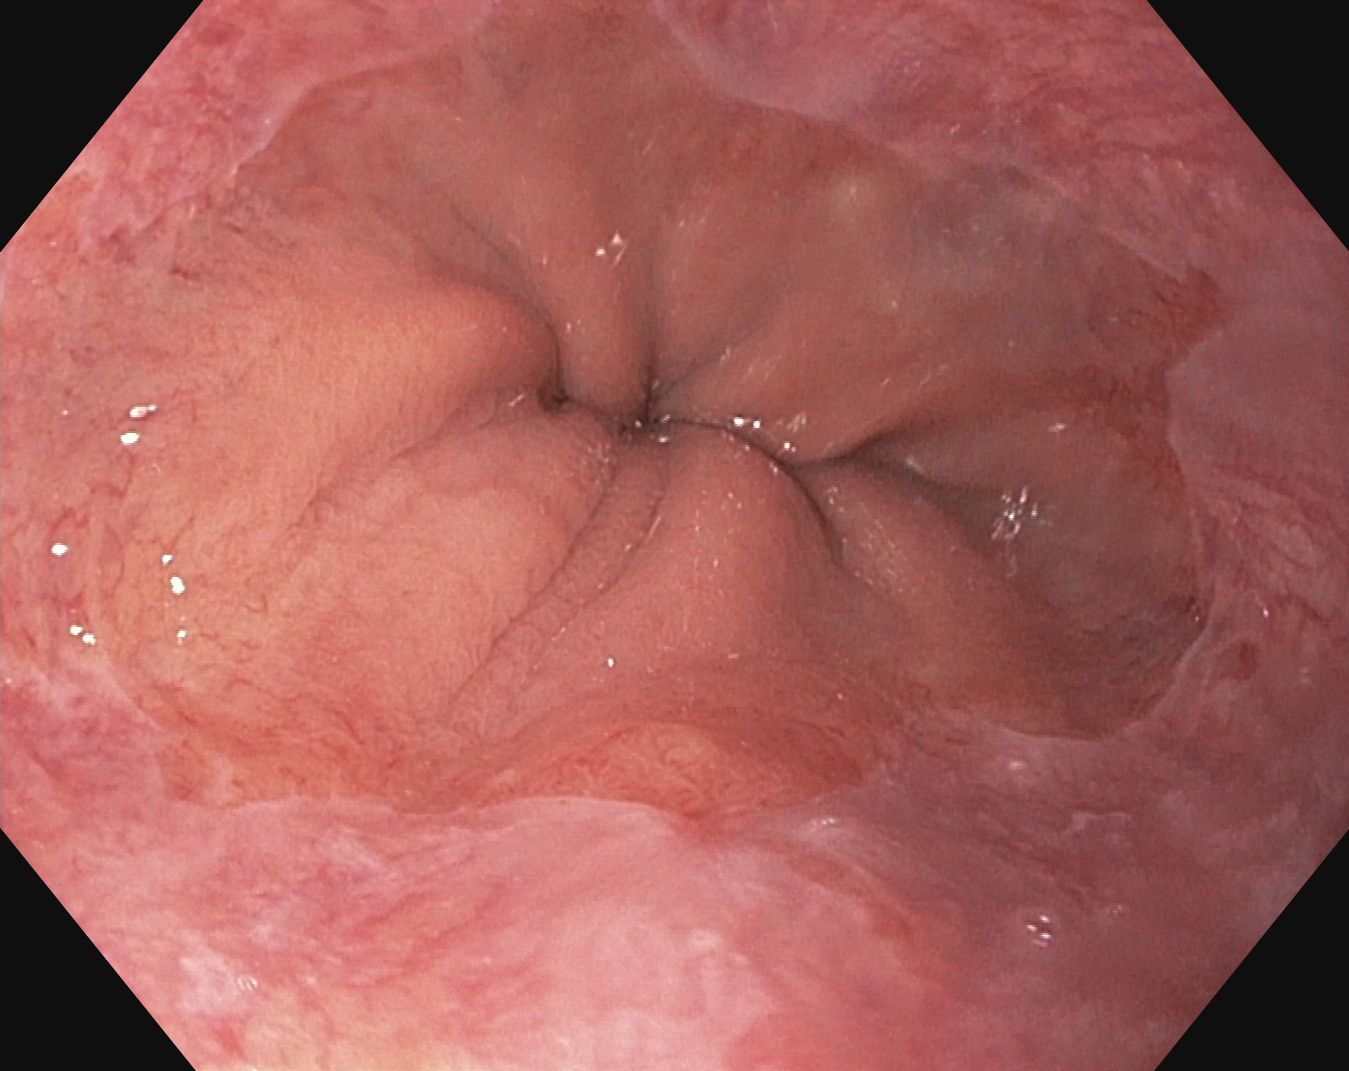GI endoscopy image of the upper GI tract showing Barrett's esophagus, short segment.